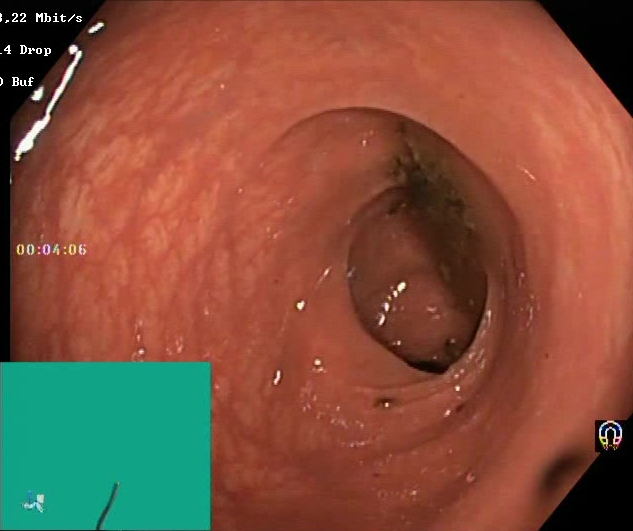Colonoscopy. Finding: Boston Bowel Preparation Scale score 0–1 (inadequate preparation).